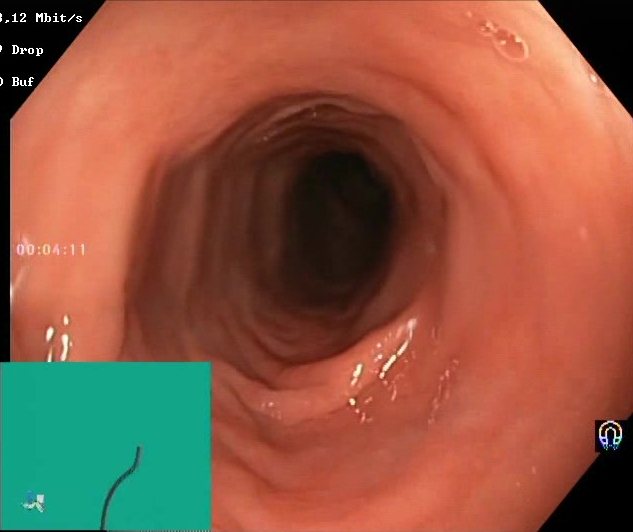Lower gastrointestinal endoscopy. Tract: lower GI tract. Finding: Boston Bowel Preparation Scale score 2–3 (adequate preparation).